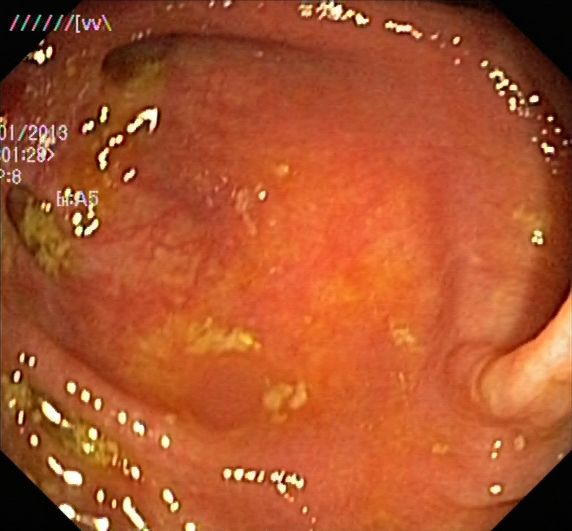Lower-GI endoscopy. Tract: lower GI tract. Pathological finding. Finding: ulcerative colitis, Mayo endoscopic subscore 1.